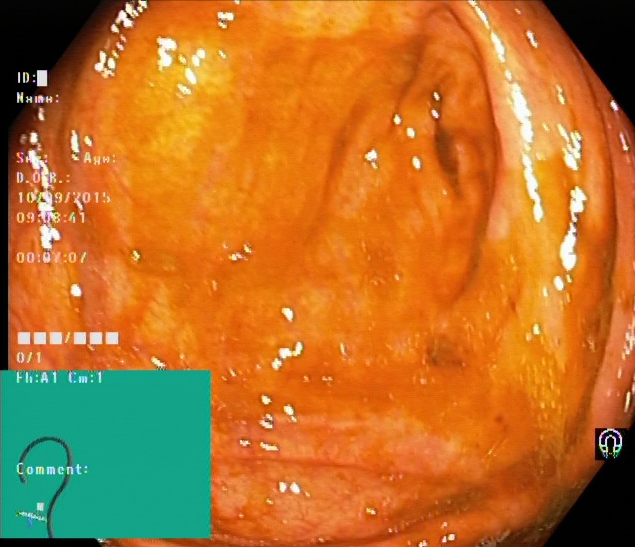{"modality": "lower-GI endoscopy", "tract": "lower GI tract", "finding": "cecum"}